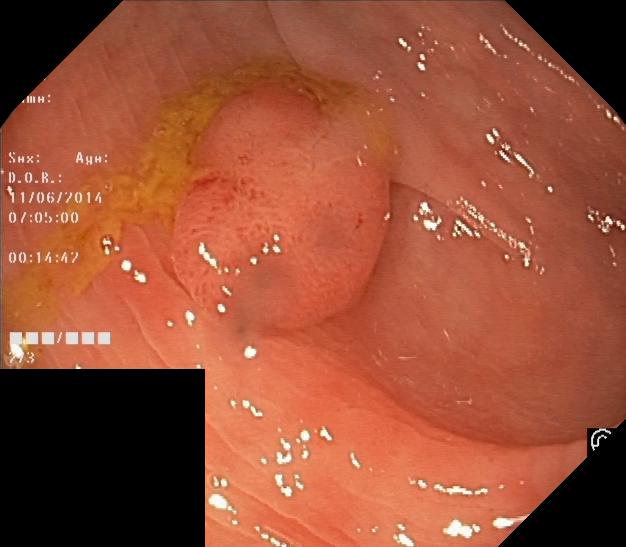This endoscopy frame of the lower GI tract shows colorectal polyp(s).